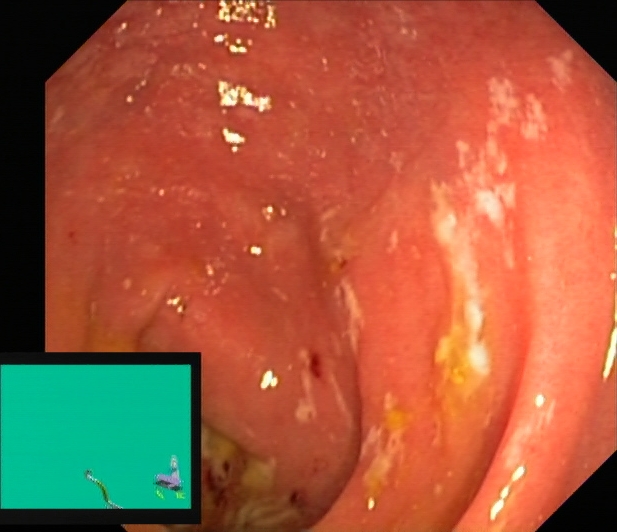Lower gastrointestinal endoscopy. Finding: ulcerative colitis, Mayo endoscopic subscore 2.